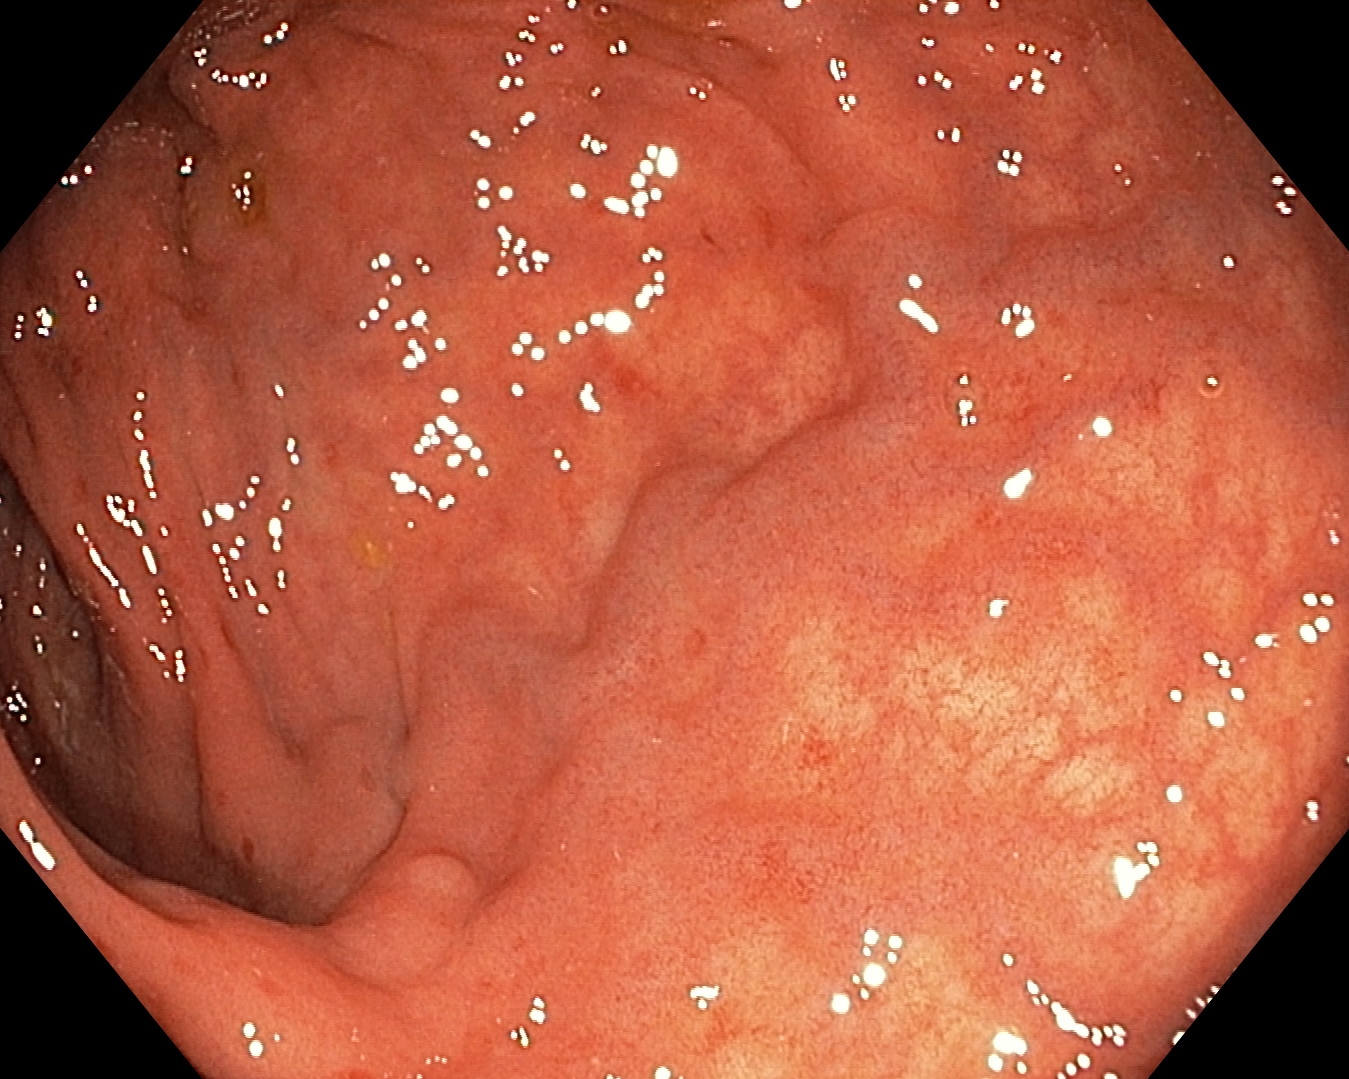Ulcerative colitis, Mayo endoscopic subscore 1.